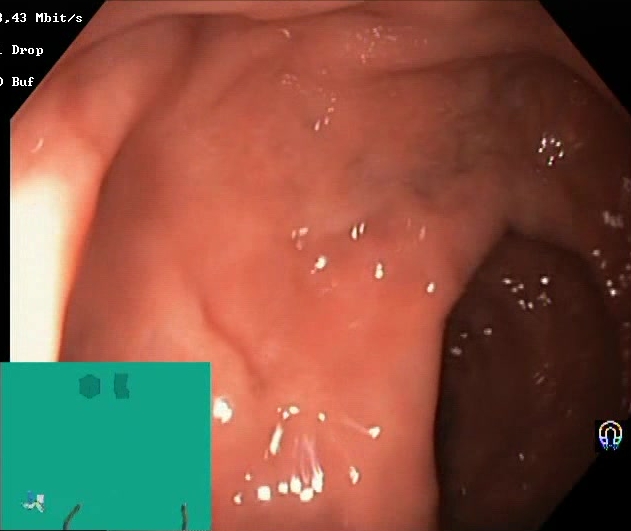PROCEDURE: Lower-GI endoscopy.
FINDINGS: Boston Bowel Preparation Scale score 2–3 (adequate preparation).